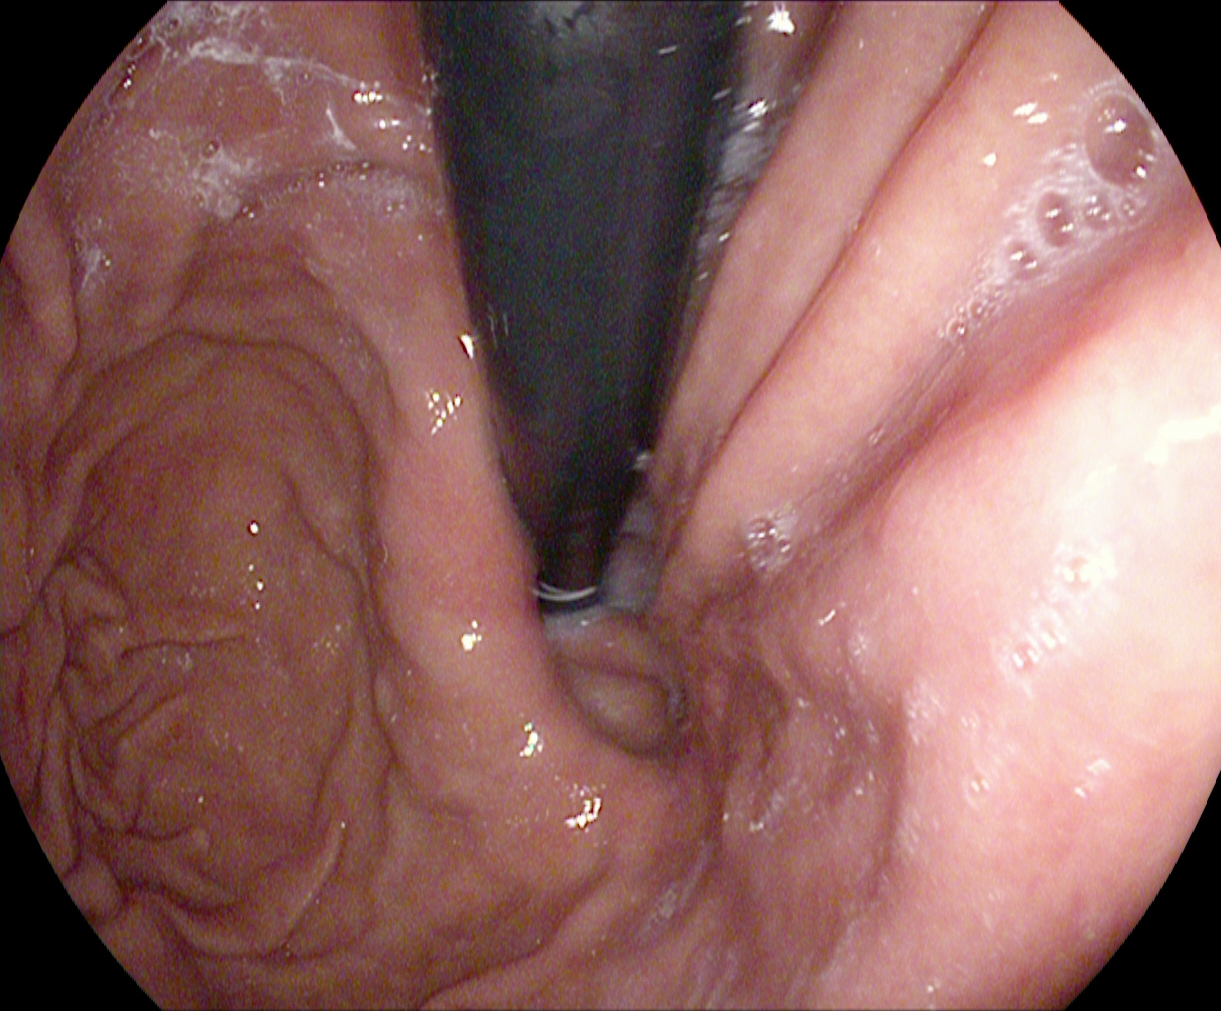Gastroscopy. Anatomical landmark. Finding: stomach in retroflexion.